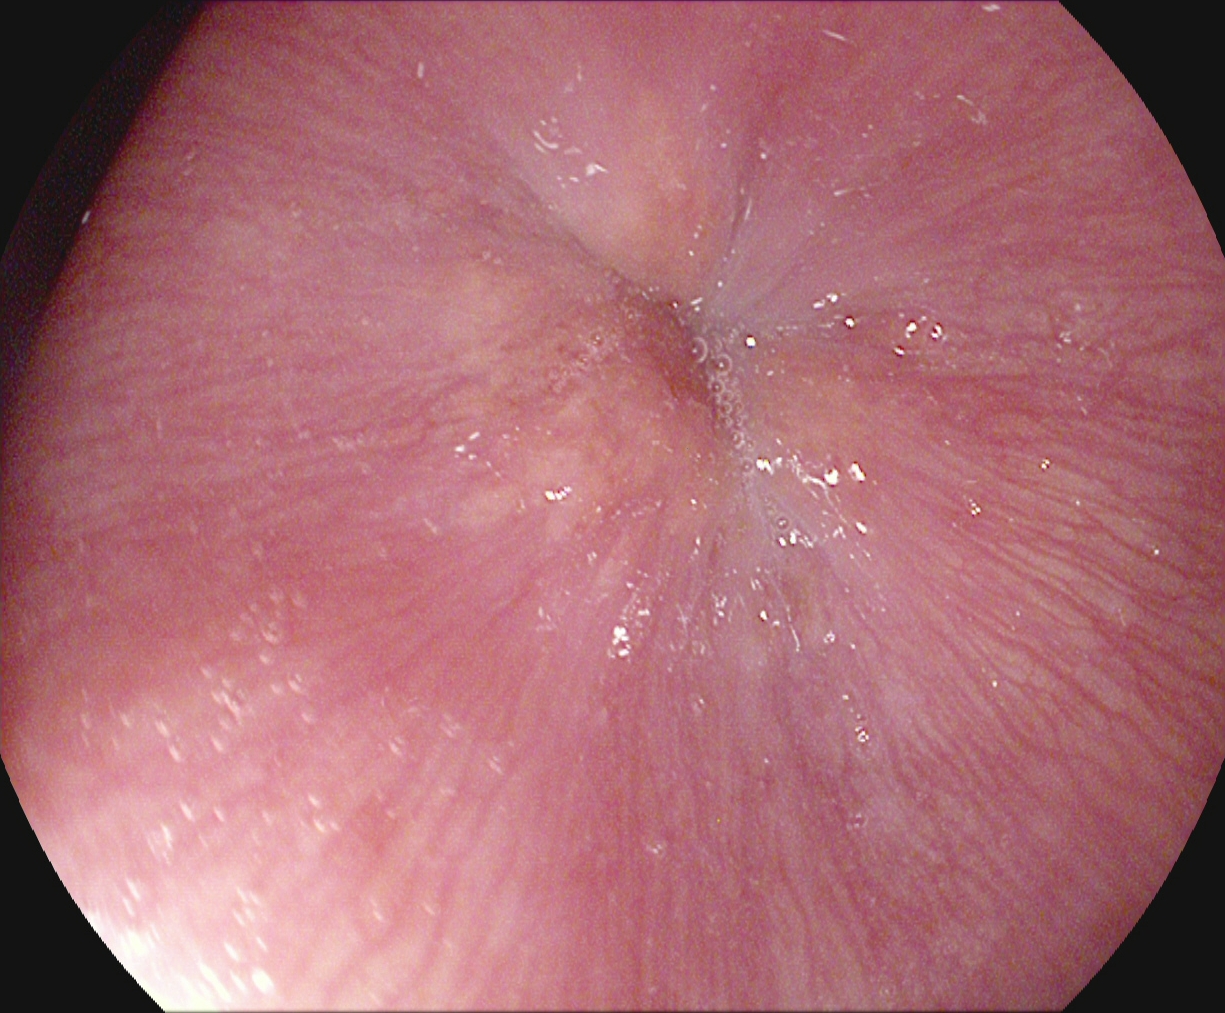EGD. Finding: Z-line (gastroesophageal junction).